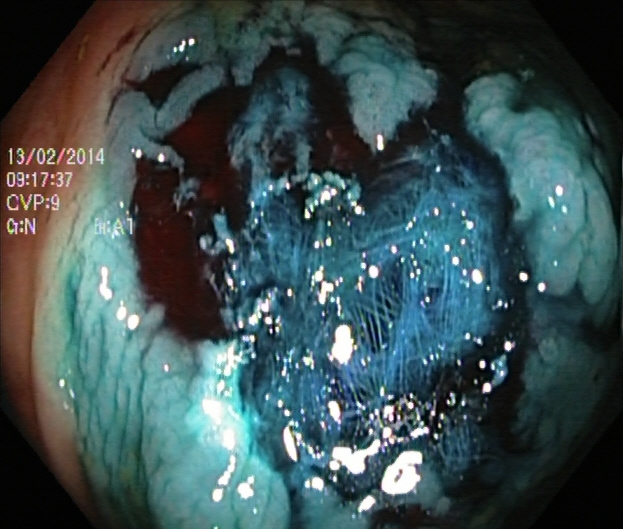Lower gastrointestinal endoscopy — dyed resection margins (post-polypectomy).